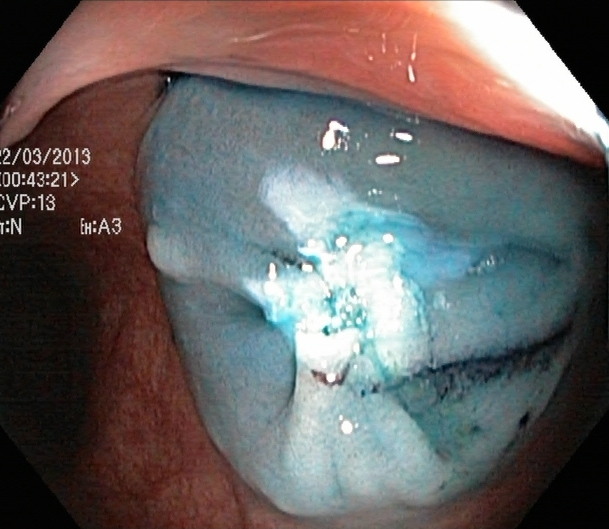This endoscopic image shows dyed resection margins (post-polypectomy).